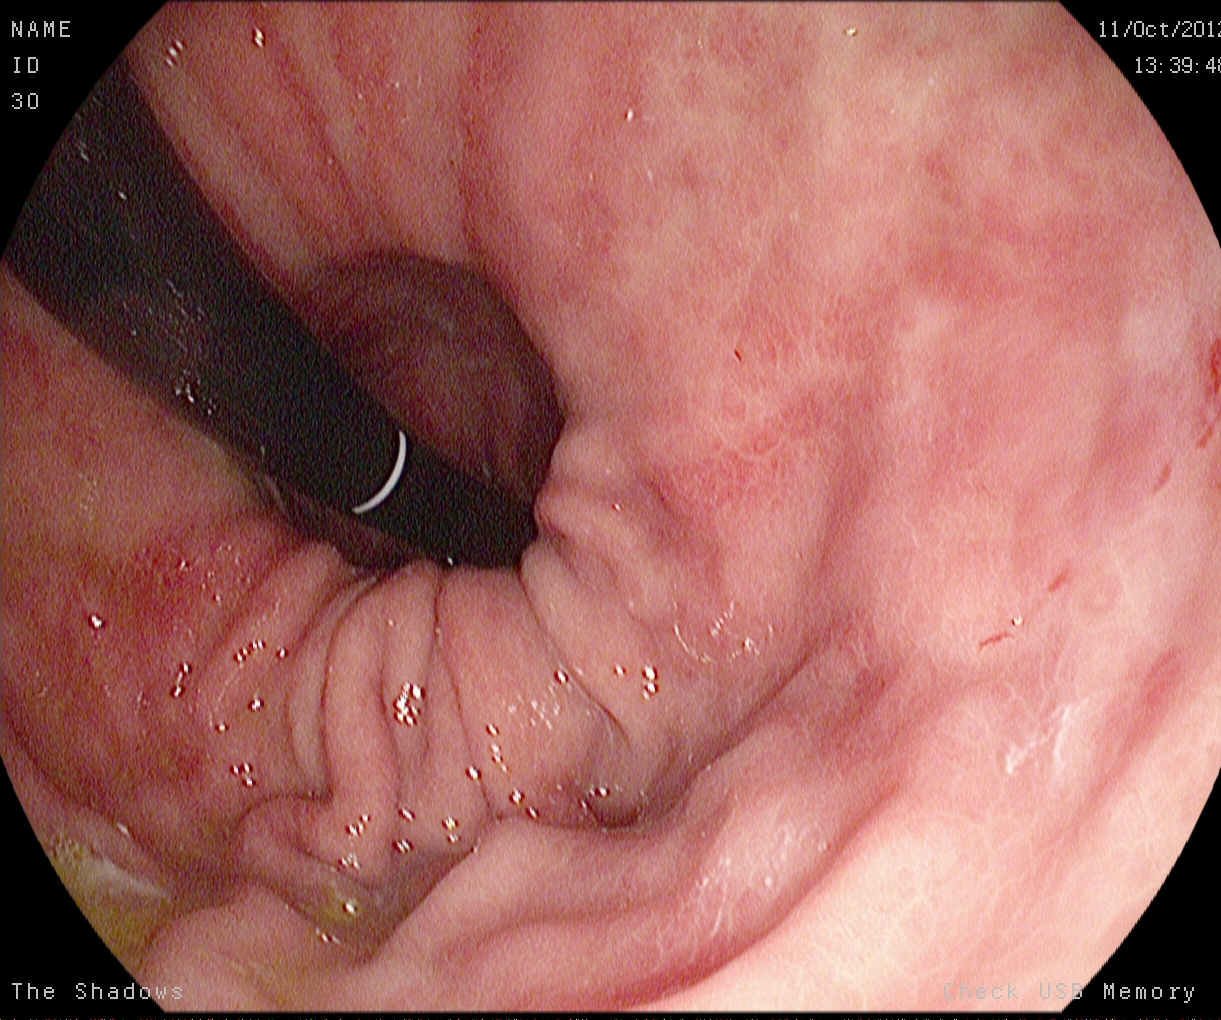This endoscopy frame of the upper GI tract shows stomach in retroflexion.